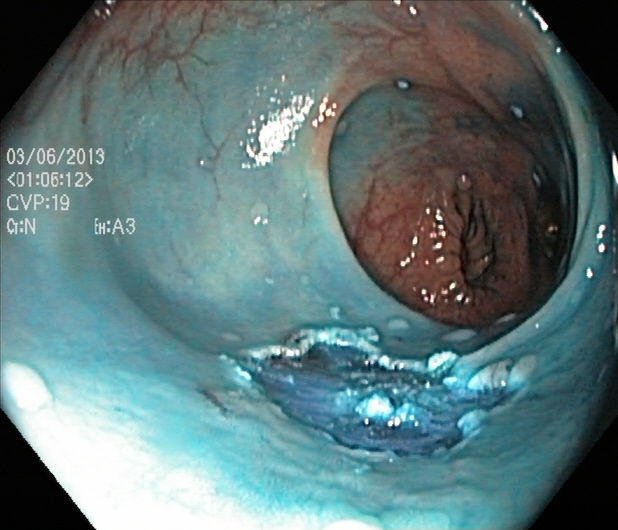Lower-GI endoscopy — dyed resection margins (post-polypectomy).